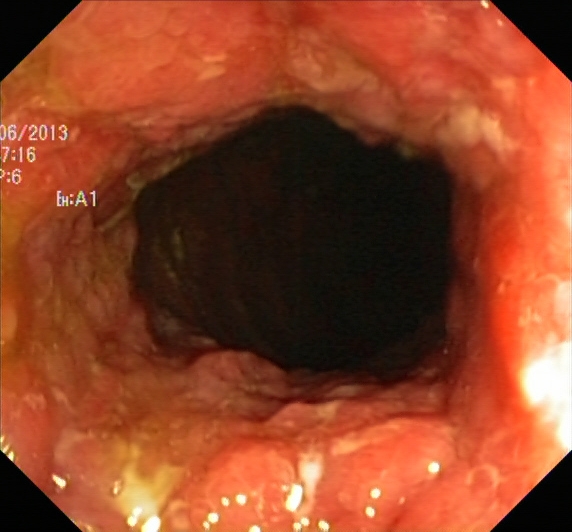Colonoscopy. Pathological finding. Finding: ulcerative colitis, Mayo endoscopic subscore 2.